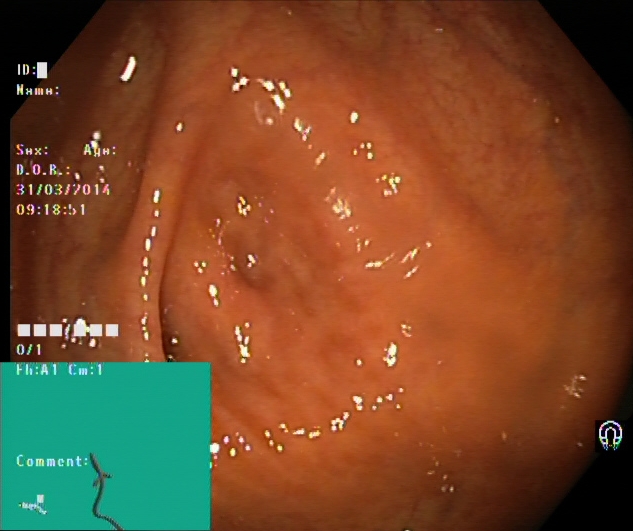Cecum.